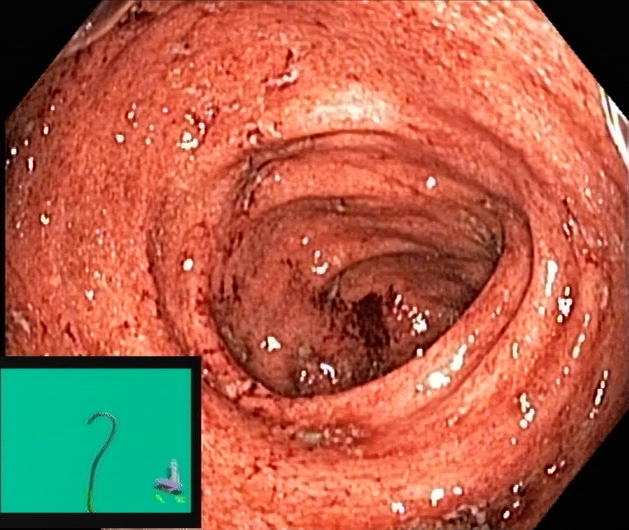PROCEDURE: Colonoscopy.
FINDINGS: Ulcerative colitis, Mayo endoscopic subscore 3.